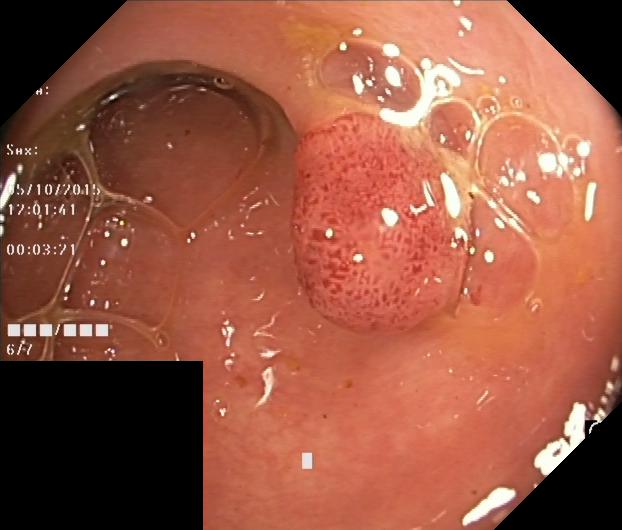{"modality": "colonoscopy", "tract": "lower GI tract", "finding": "colorectal polyp(s)"}